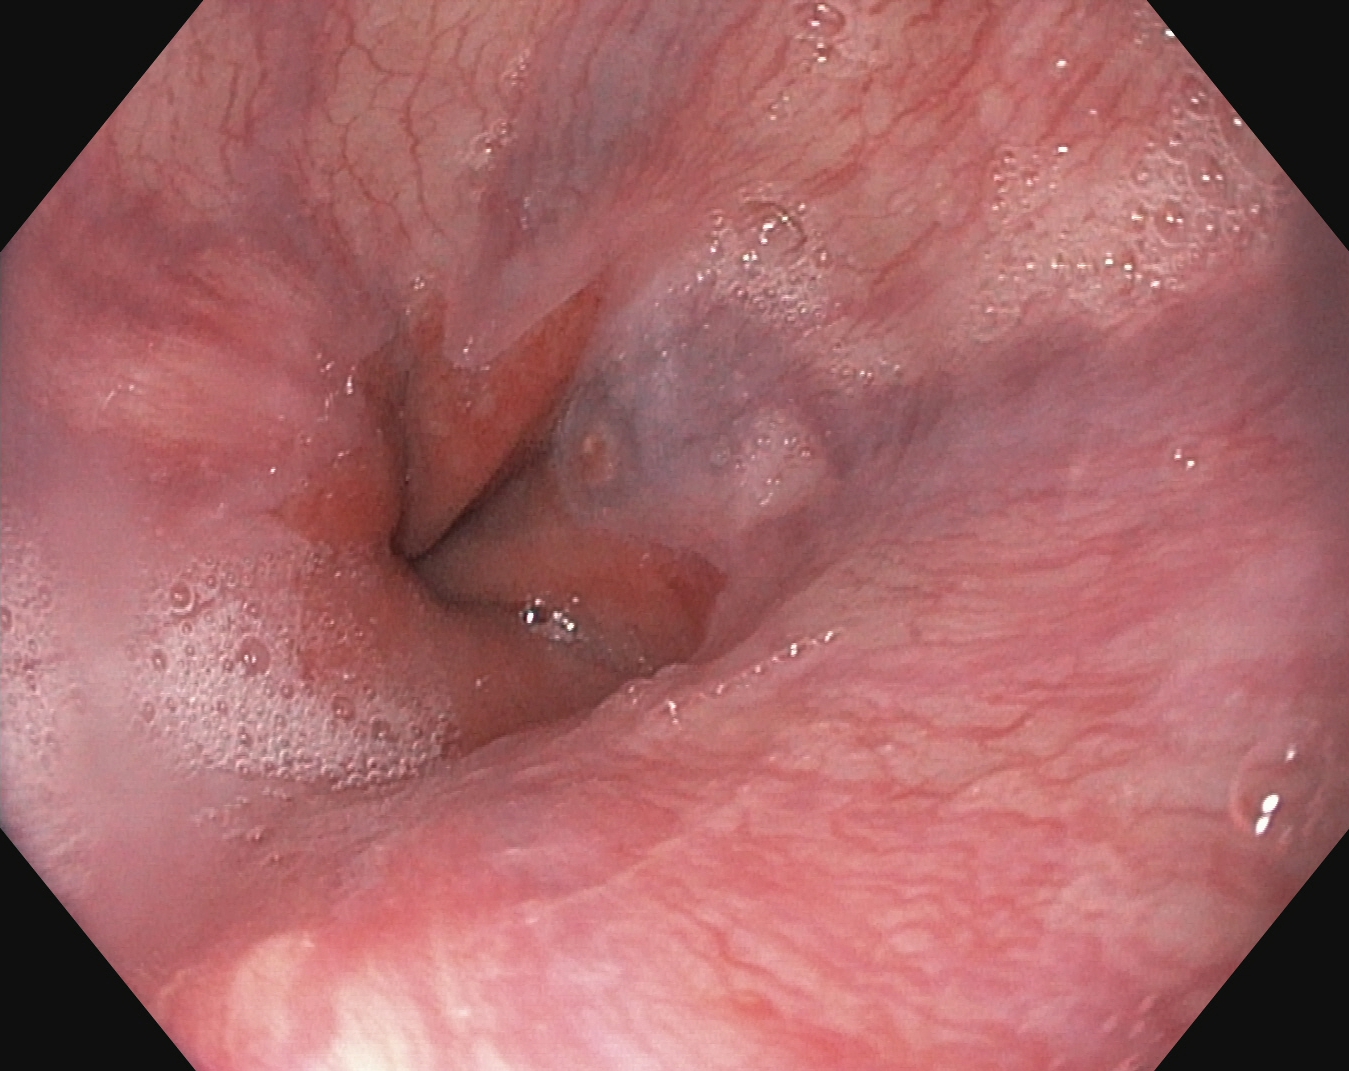{"modality": "gastroscopy", "category": "anatomical landmark", "finding": "Z-line (gastroesophageal junction)"}